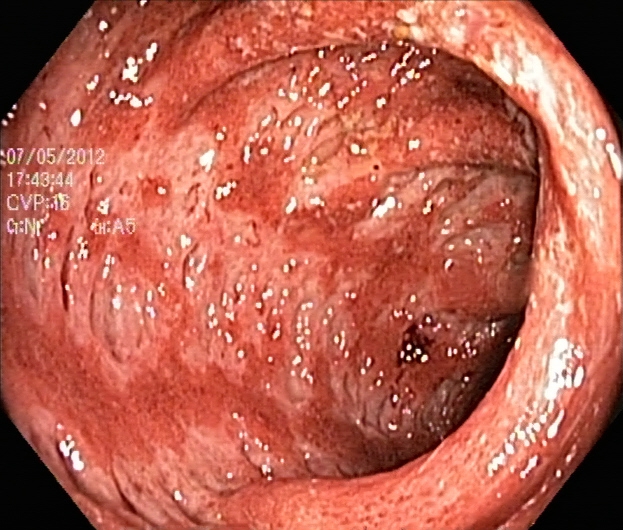PROCEDURE: Lower gastrointestinal endoscopy.
FINDINGS: UC, Mayo endoscopic subscore 3.